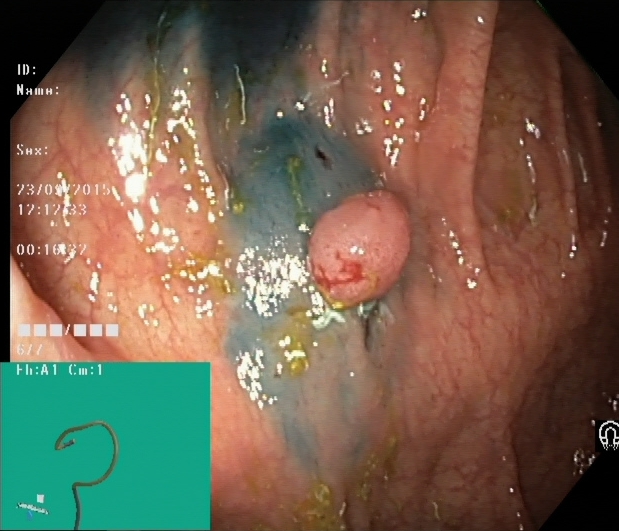Lower-GI endoscopy. Tract: lower GI tract. Finding: dyed and lifted polyp (pre-resection).